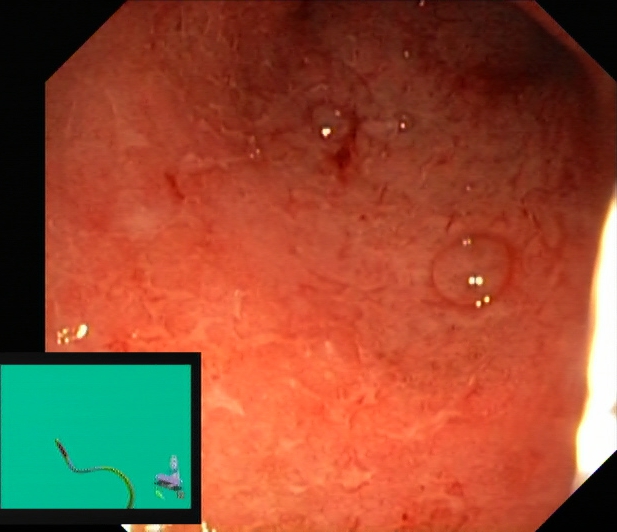Ulcerative colitis, Mayo endoscopic subscore 2.